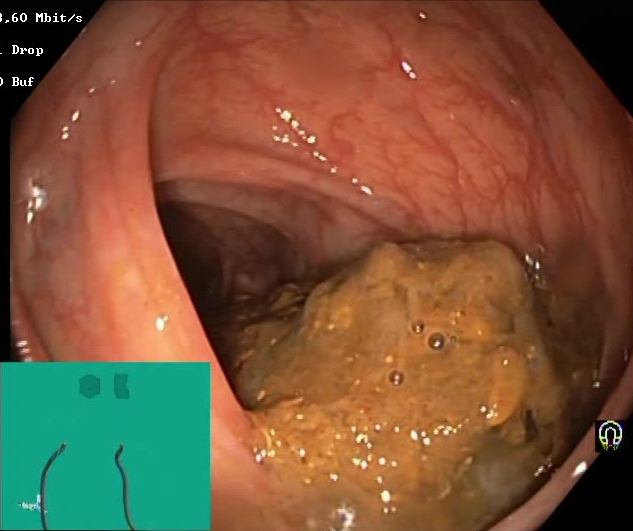Colonoscopy — Boston Bowel Preparation Scale score 0–1 (inadequate preparation).